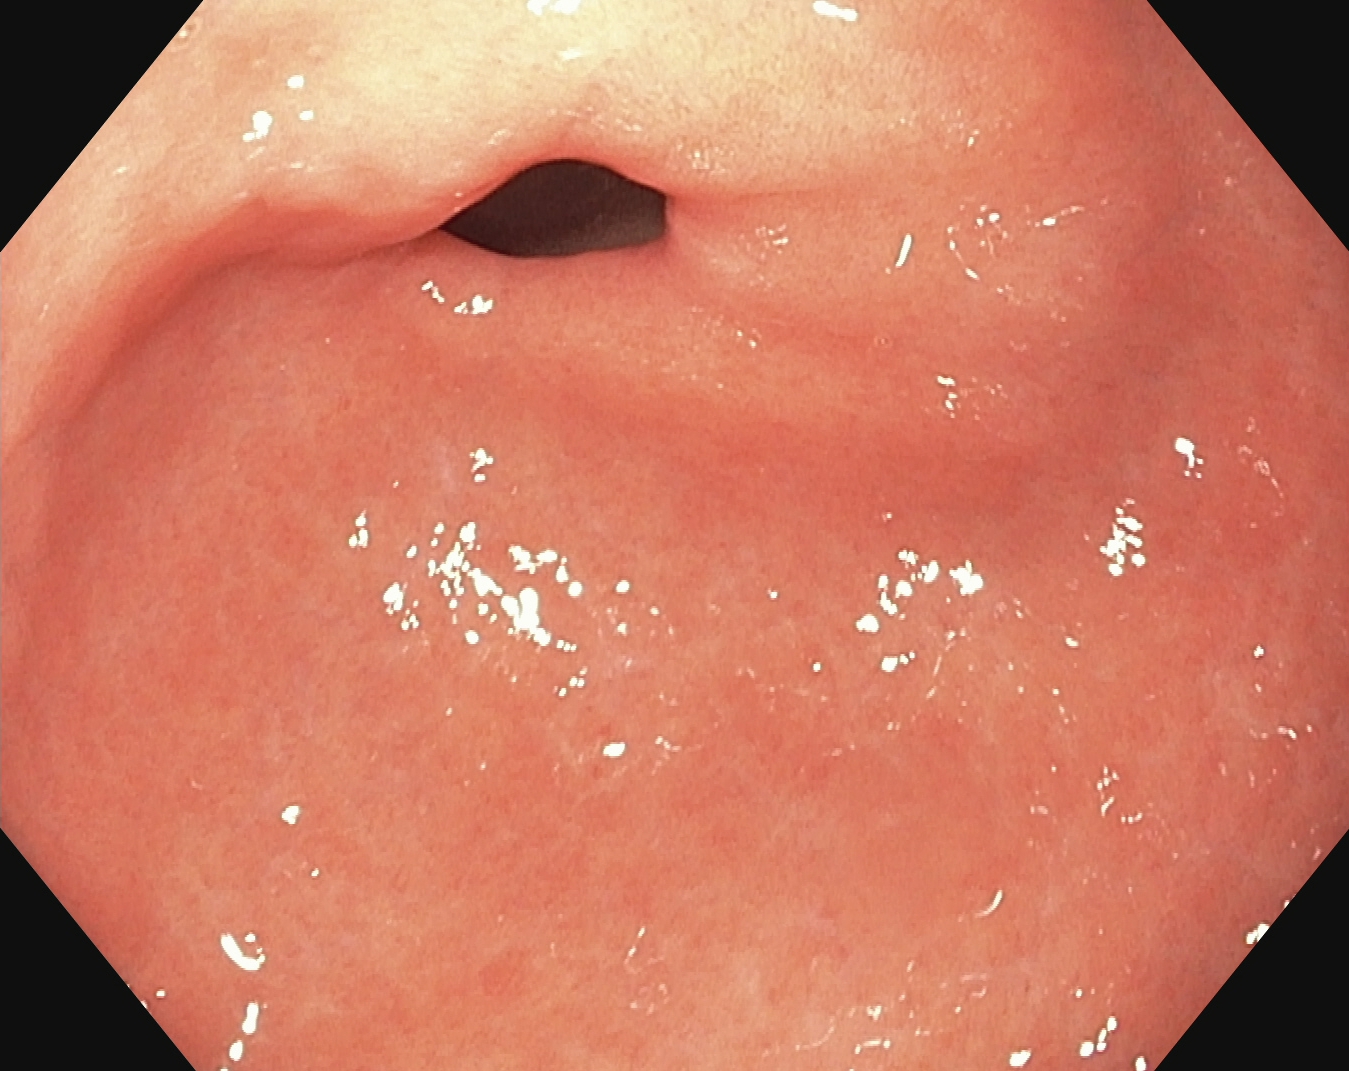Gastroscopy image showing pylorus.